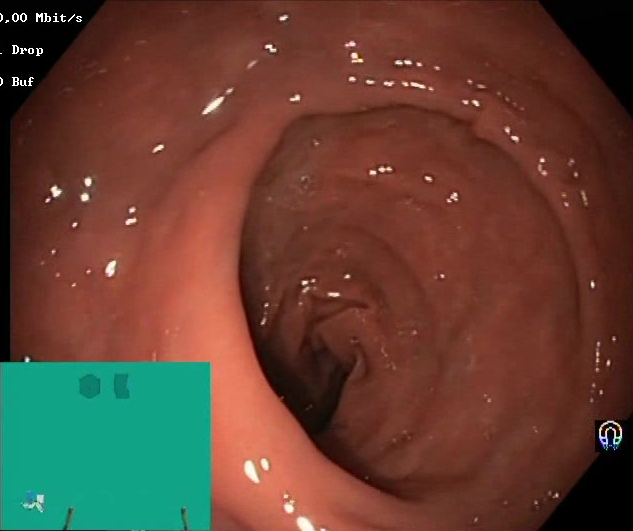Colonoscopy image of the lower GI tract showing Boston Bowel Preparation Scale score 2–3 (adequate preparation).